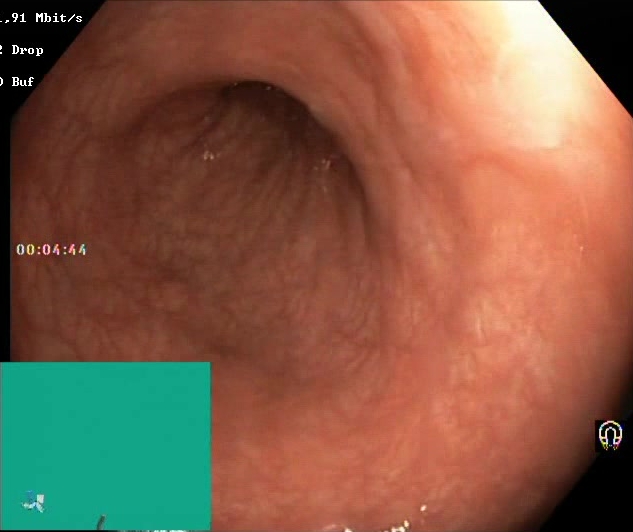BBPS score 2–3 (adequate preparation).